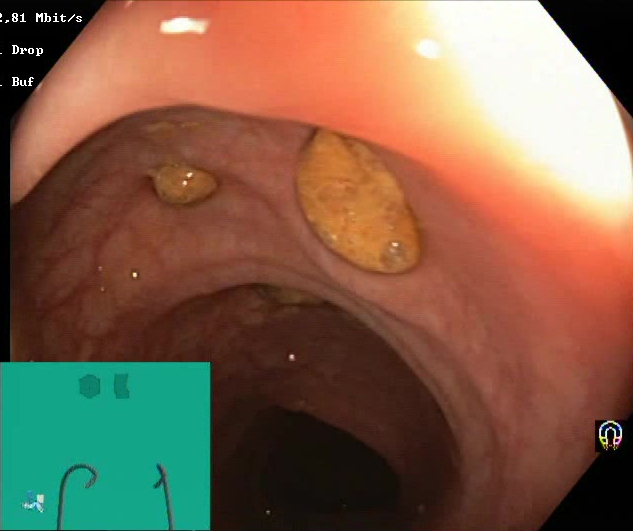Colonoscopy. Tract: lower GI tract. Mucosal-view quality. Finding: impacted stool.